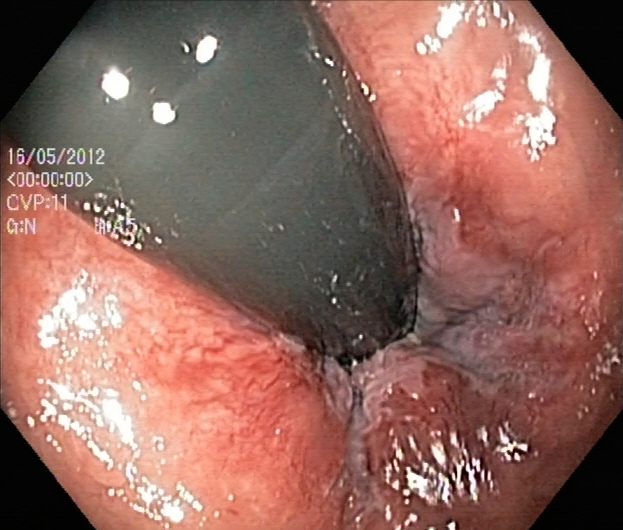Lower-GI endoscopy. Tract: lower GI tract. Finding: rectum in retroflexion.